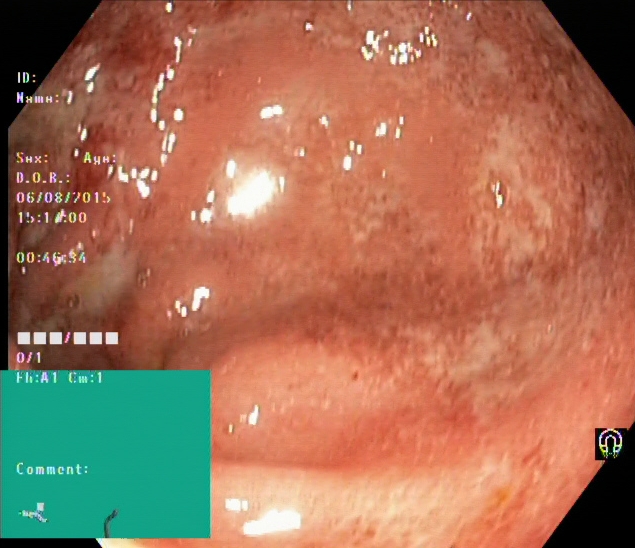Ulcerative colitis, Mayo endoscopic subscore 2.